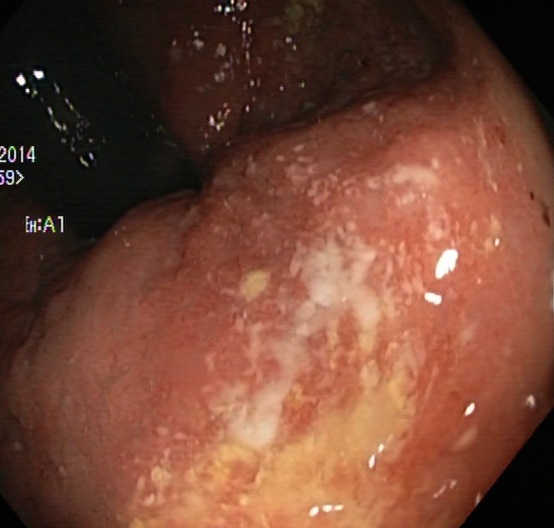modality: lower-GI endoscopy | tract: lower GI tract | finding: UC, Mayo endoscopic subscore 2